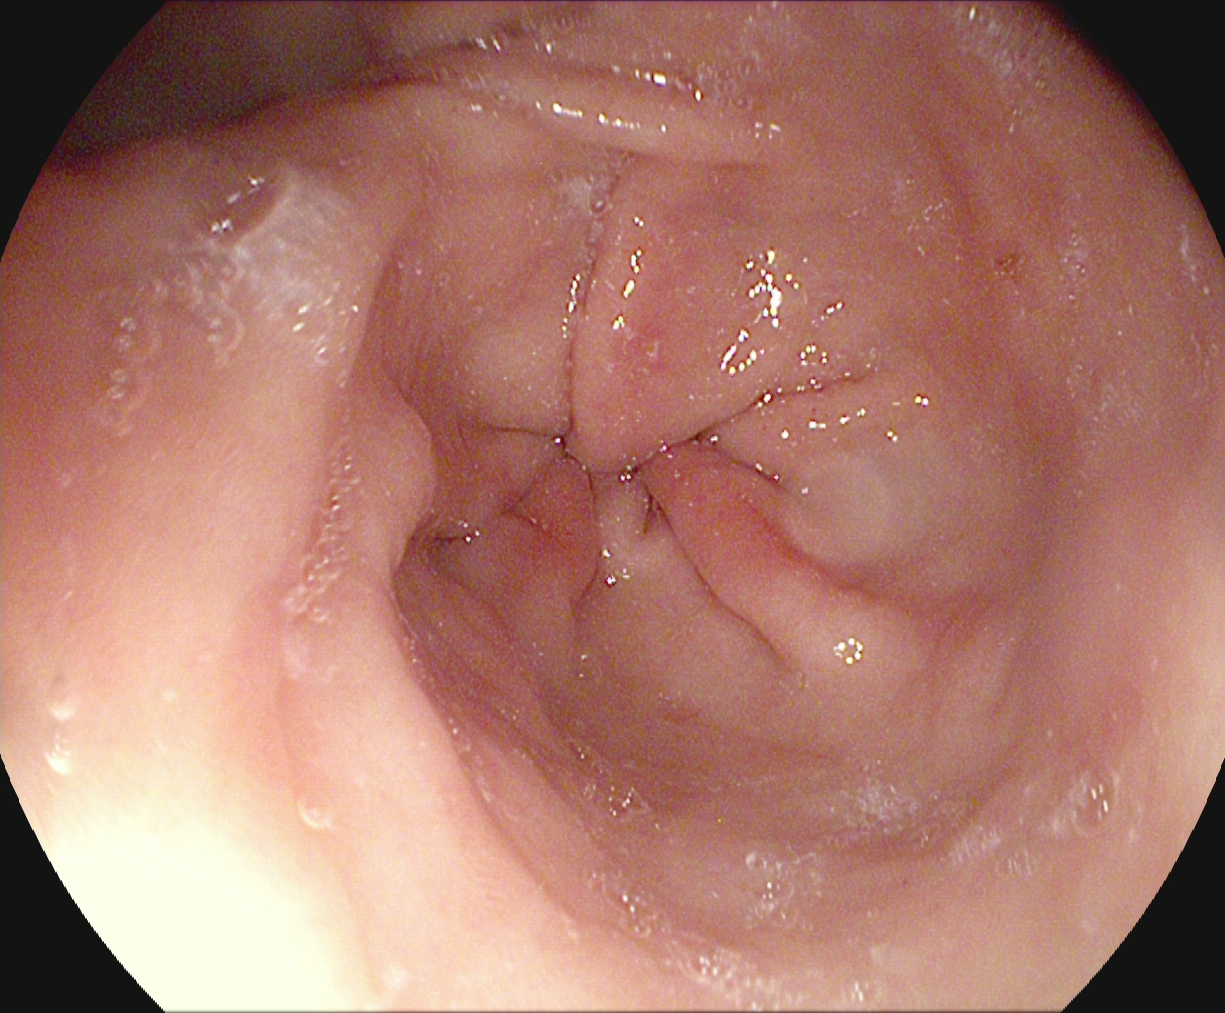Endoscopy image of the upper GI tract showing pylorus.